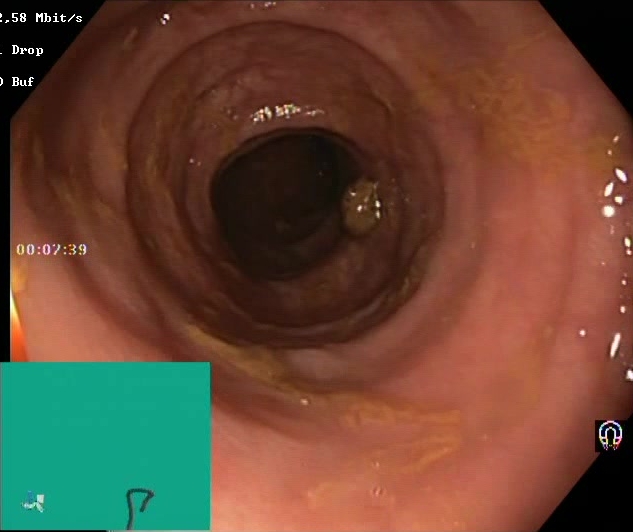Lower gastrointestinal endoscopy. Tract: lower GI tract. Mucosal-view quality. Finding: Boston Bowel Preparation Scale score 2–3 (adequate preparation).